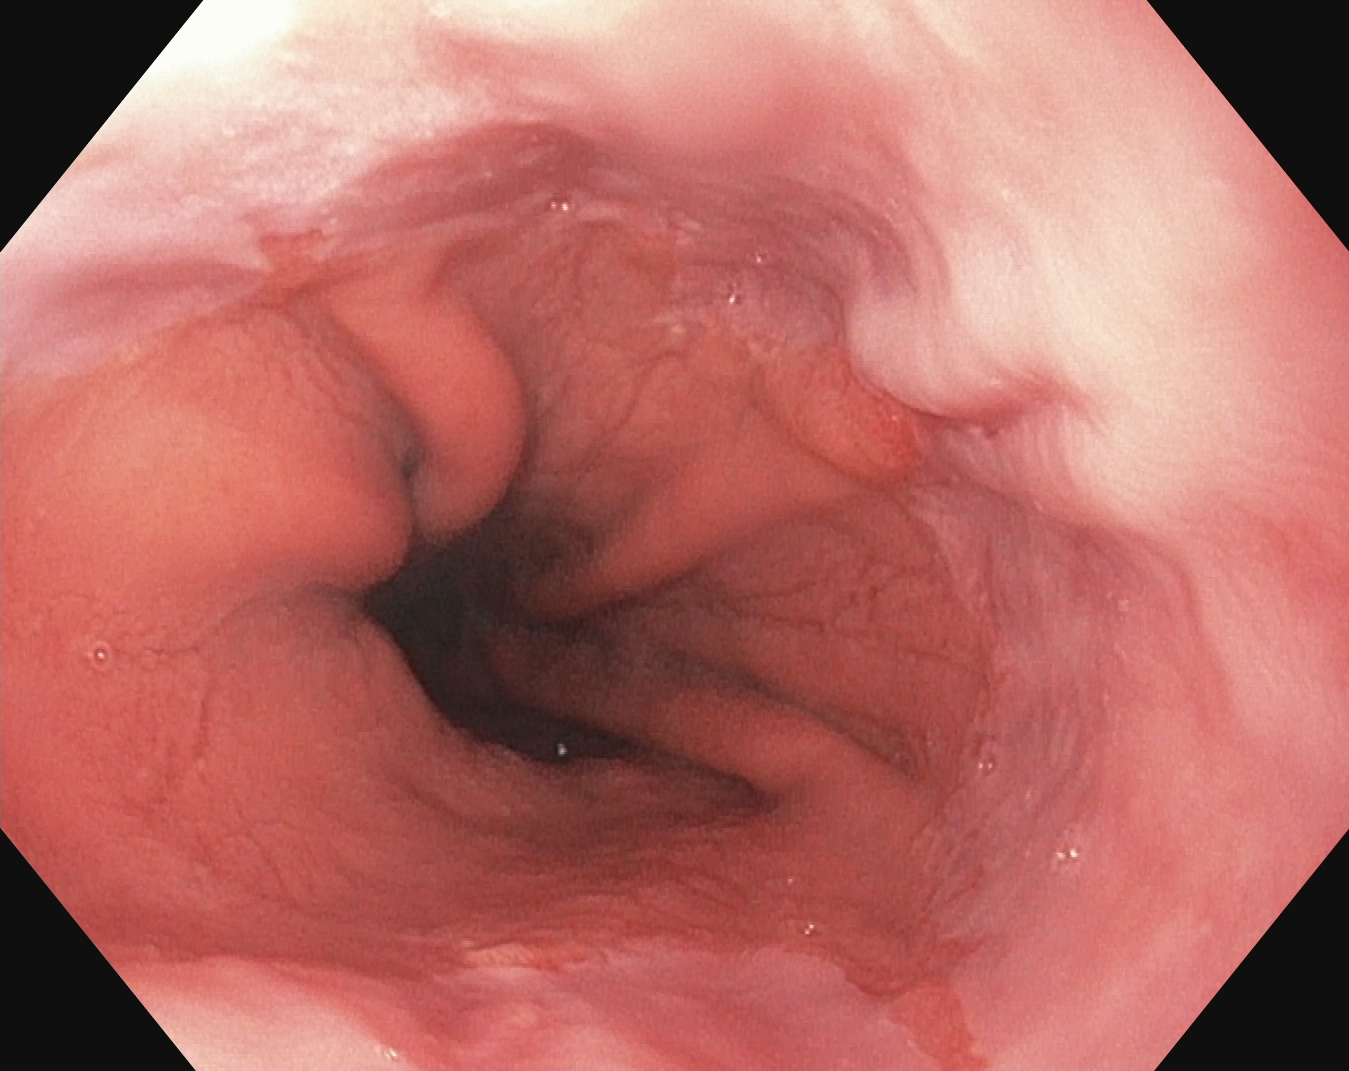EGD. Tract: upper GI tract. Finding: reflux esophagitis, Los Angeles grade A.